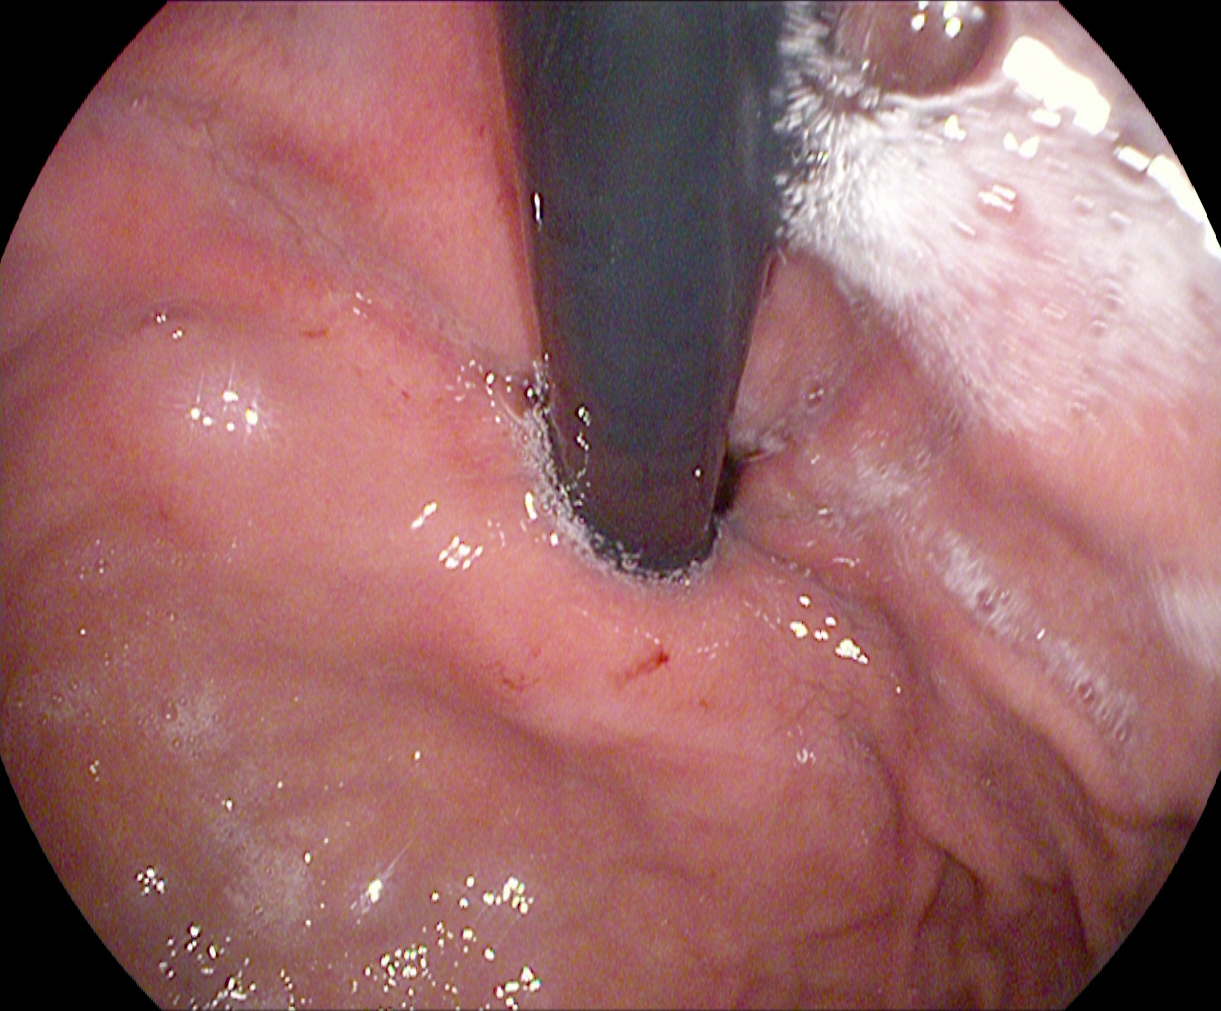{"modality": "esophagogastroduodenoscopy", "tract": "upper GI tract", "finding": "stomach in retroflexion"}